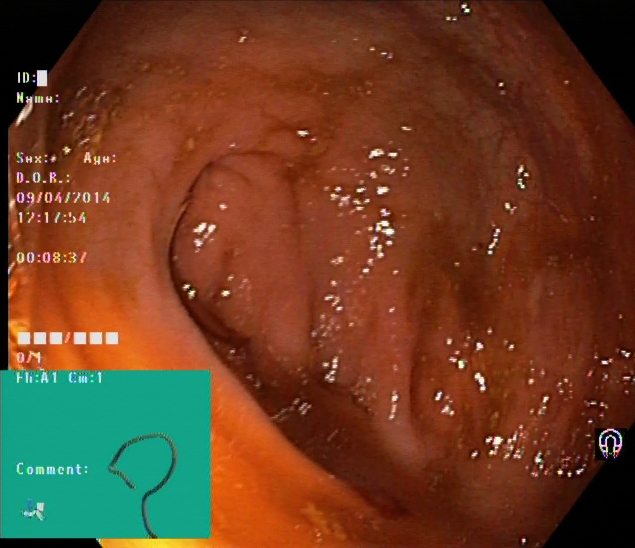Cecum.